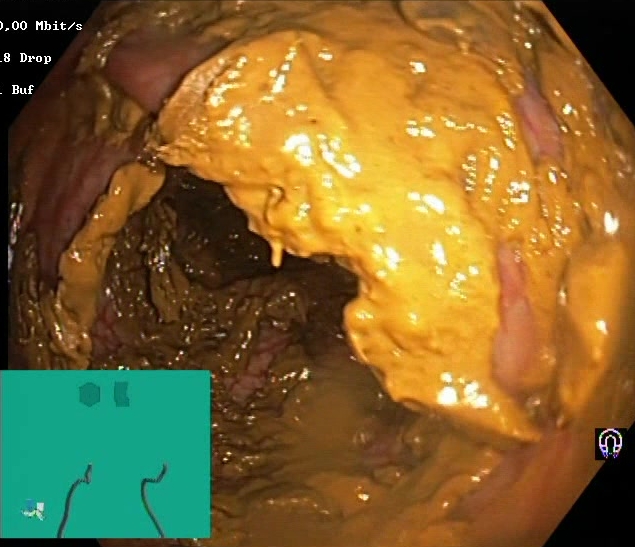Boston Bowel Preparation Scale score 0–1 (inadequate preparation).